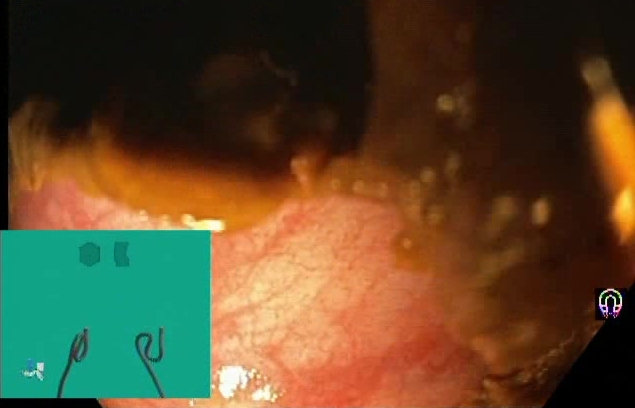modality: lower-GI endoscopy; tract: lower GI tract; category: mucosal-view quality; finding: Boston Bowel Preparation Scale score 0–1 (inadequate preparation)